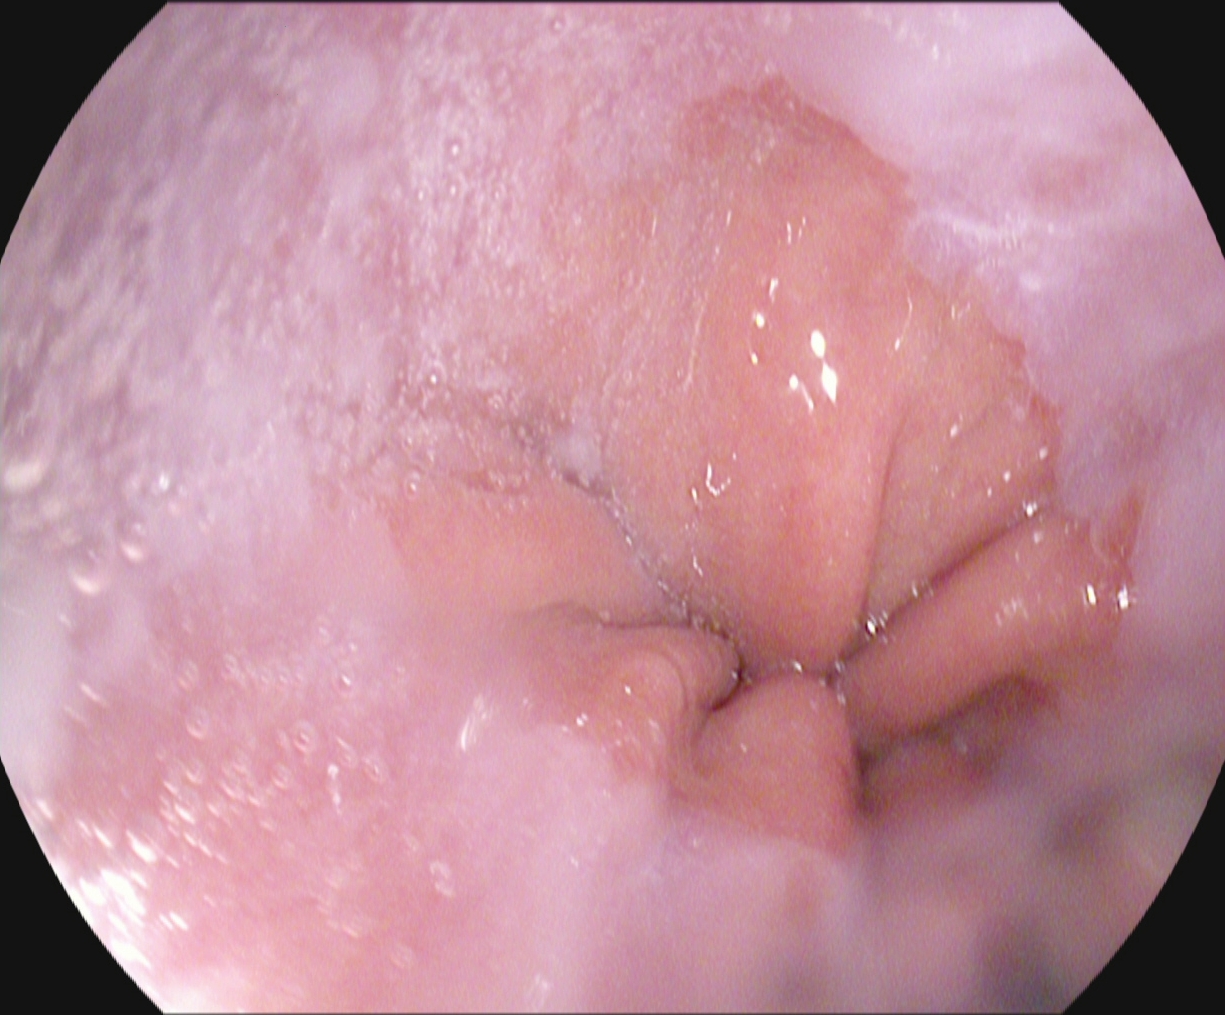Endoscopy image of the upper GI tract showing reflux esophagitis, LA grade A.